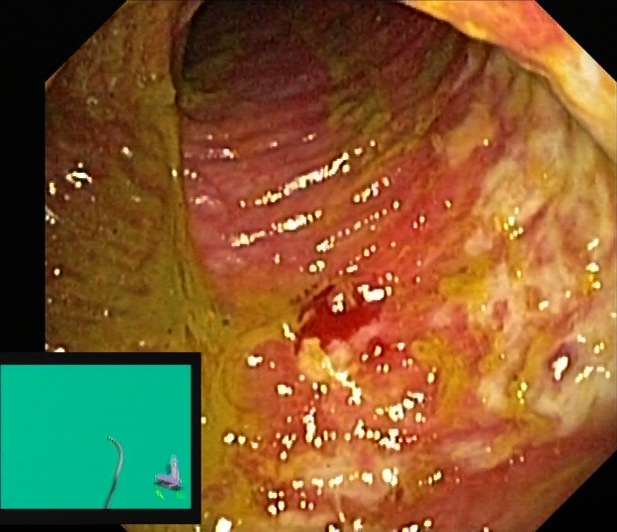Colonoscopy. Finding: ulcerative colitis, Mayo endoscopic subscore 3.